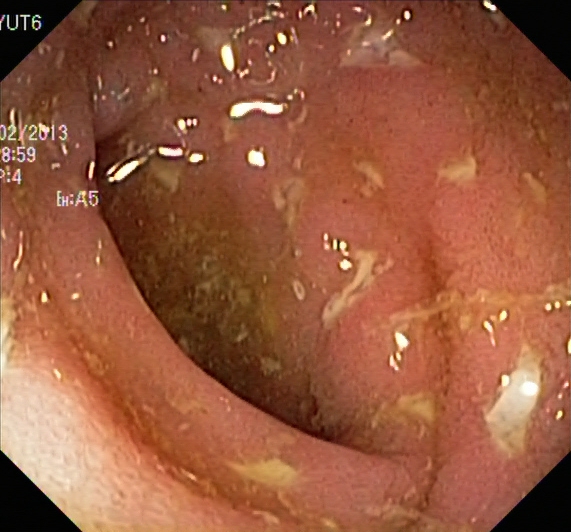Colonoscopy. Tract: lower GI tract. Finding: ulcerative colitis, Mayo endoscopic subscore 2.